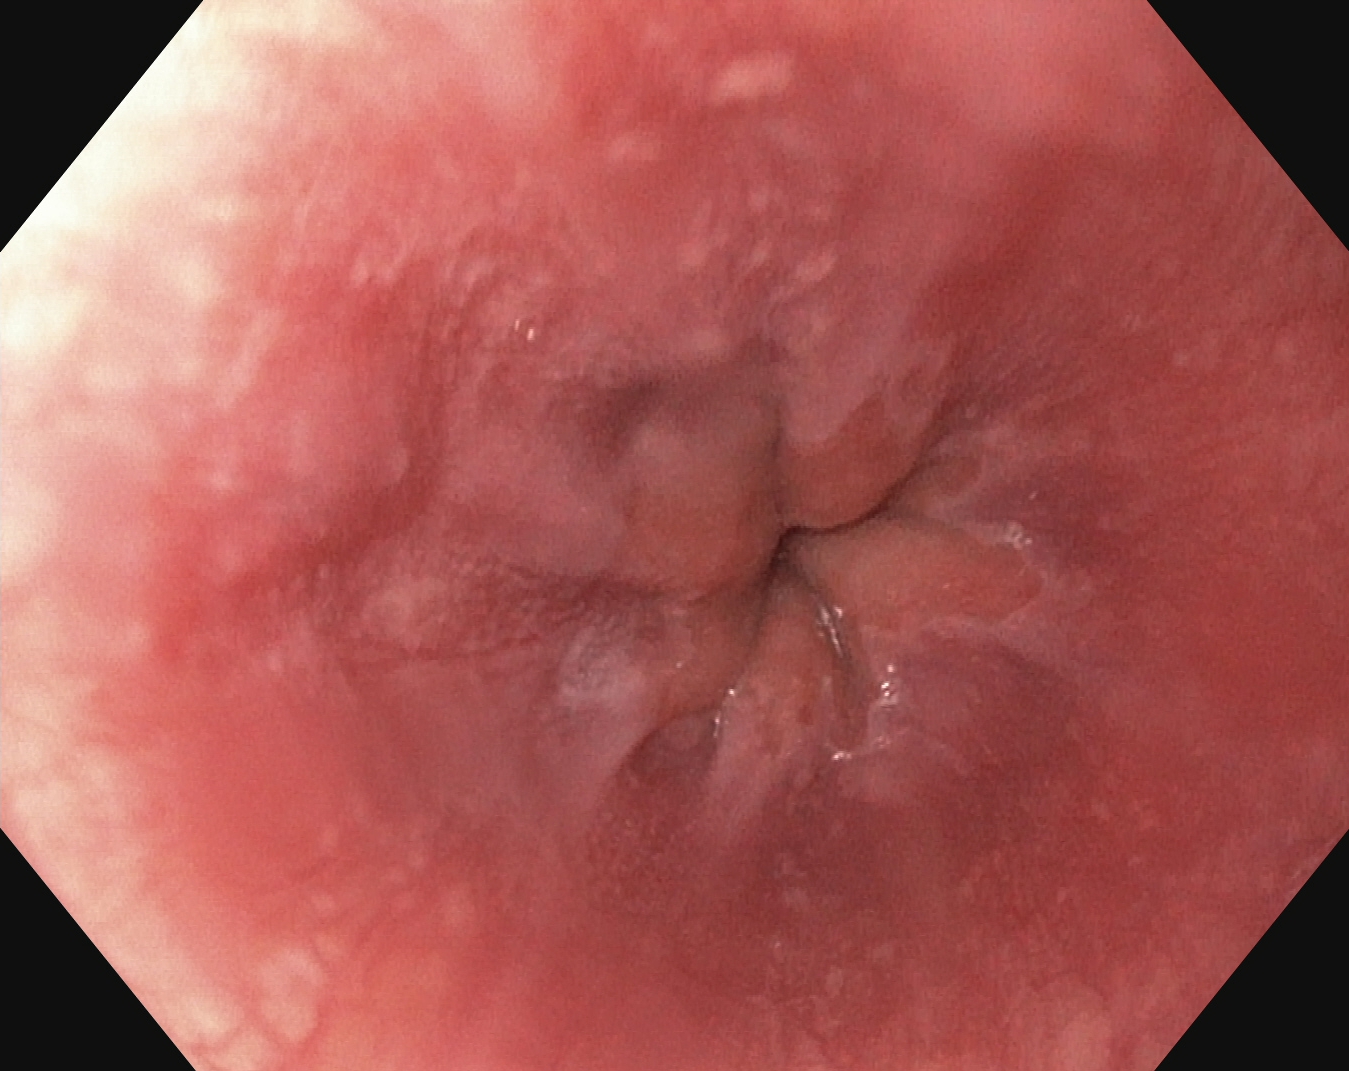PROCEDURE: Gastroscopy.
FINDINGS: Z-line (gastroesophageal junction).